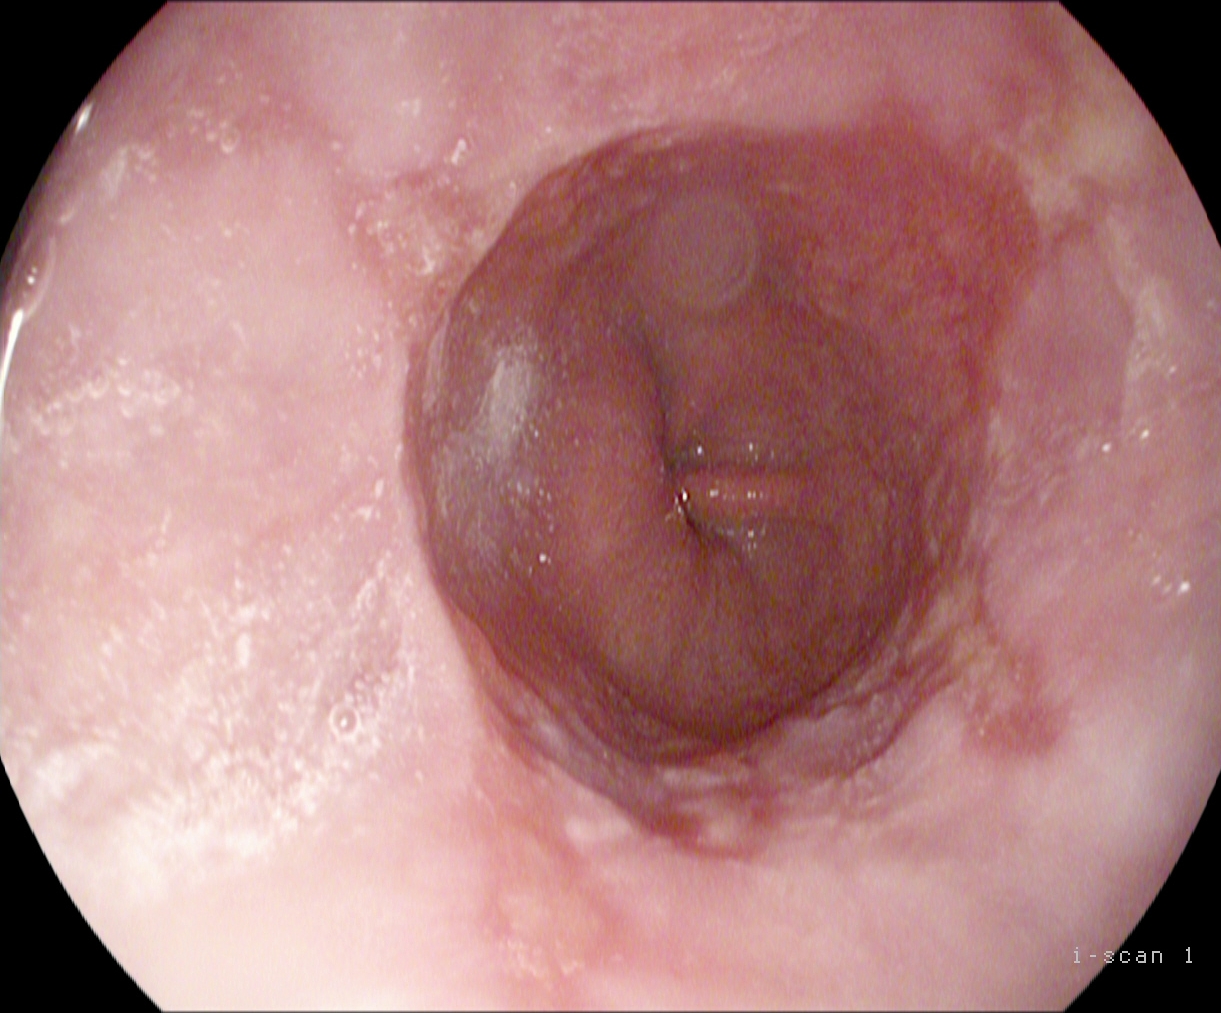Endoscopic image of the upper GI tract showing reflux esophagitis, LA grade B–D.